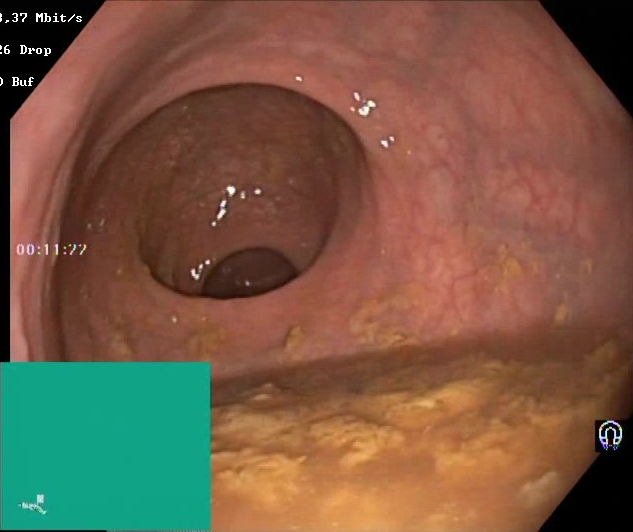Lower gastrointestinal endoscopy. Tract: lower GI tract. Finding: BBPS score 0–1 (inadequate preparation).